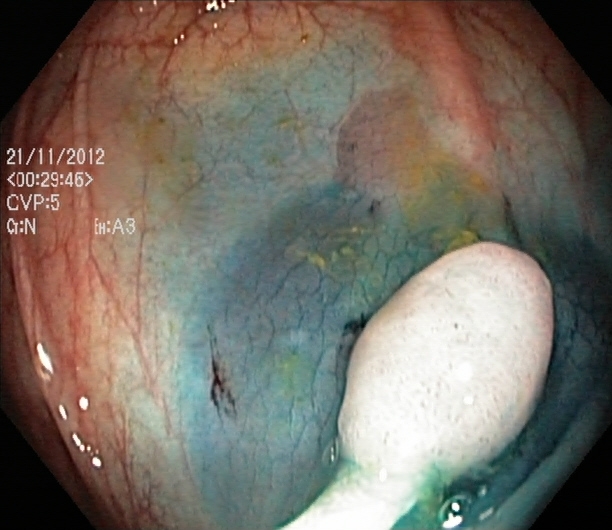Colonoscopy. Tract: lower GI tract. Finding: dyed and lifted polyp (pre-resection).